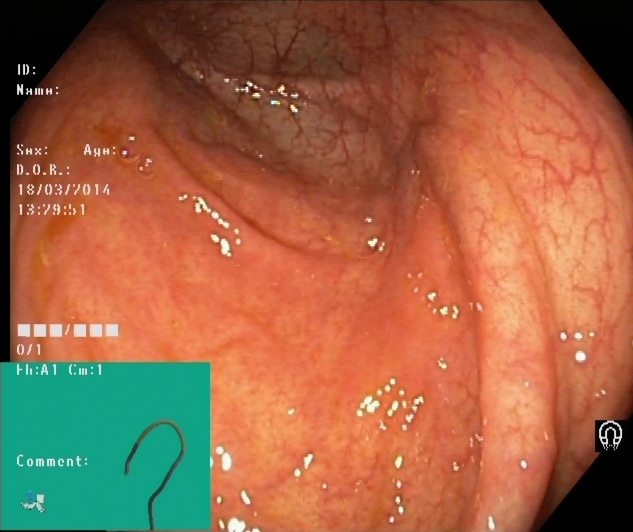Colonoscopy — cecum.